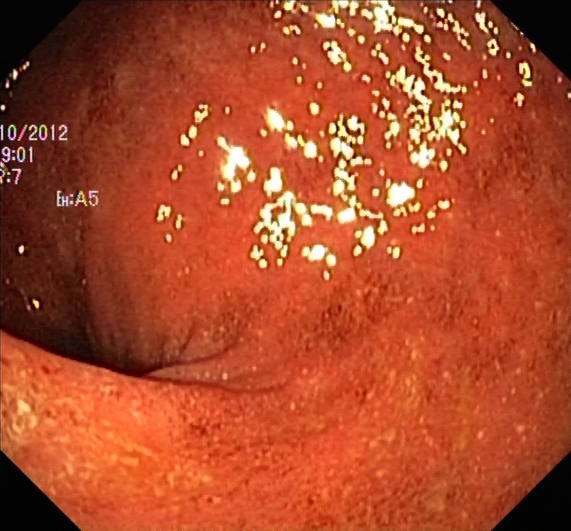{"modality": "colonoscopy", "tract": "lower GI tract", "finding": "ulcerative colitis, Mayo endoscopic subscore 2"}